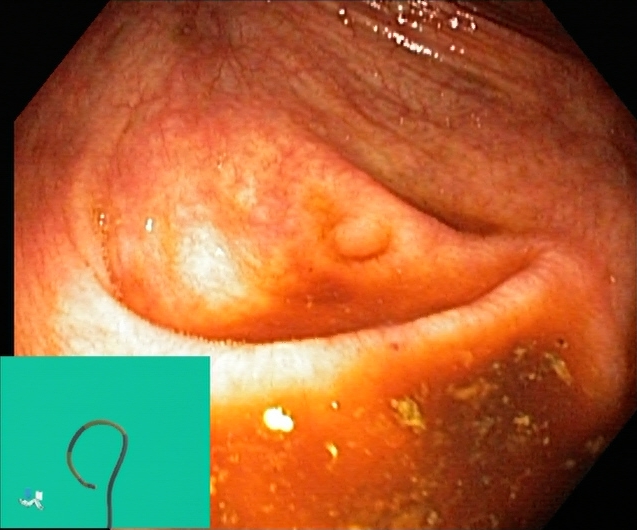GI endoscopy image of the lower GI tract showing cecum.